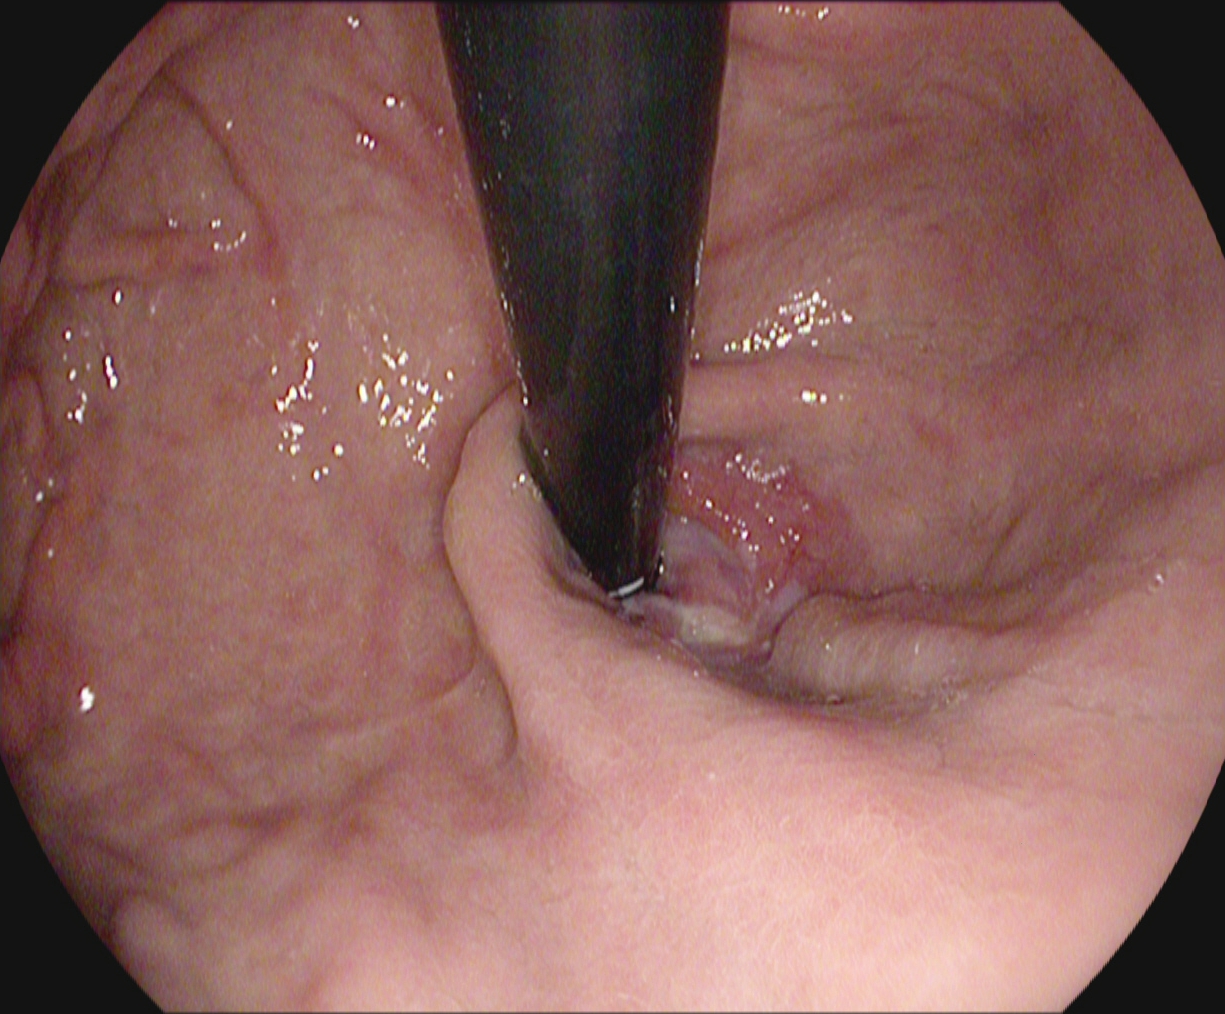Esophagogastroduodenoscopy. Tract: upper GI tract. Finding: stomach in retroflexion.